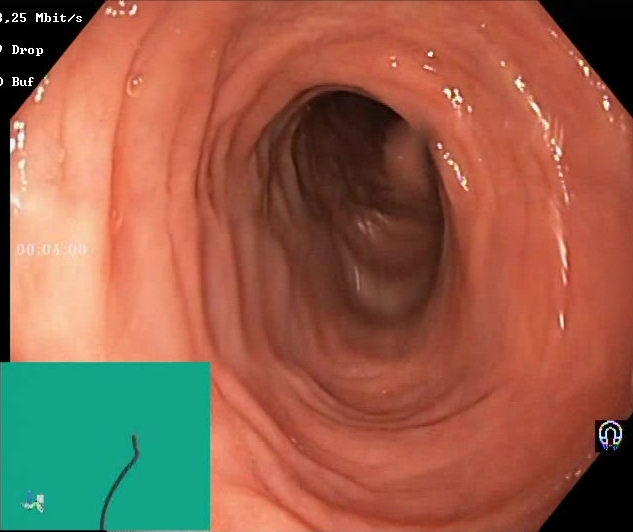Colonoscopy. Finding: BBPS score 2–3 (adequate preparation).